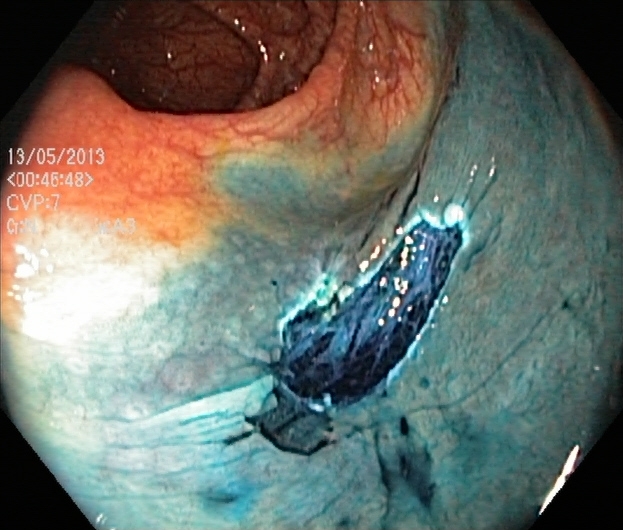{"modality": "lower gastrointestinal endoscopy", "category": "therapeutic intervention", "finding": "dyed resection margins (post-polypectomy)"}